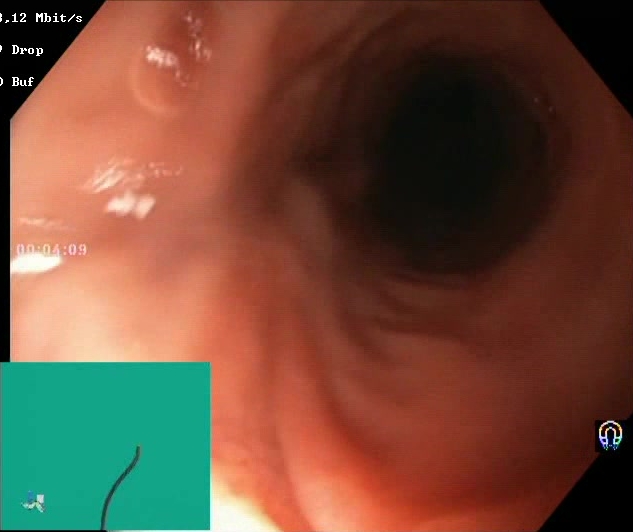This endoscopy frame shows Boston Bowel Preparation Scale score 2–3 (adequate preparation).